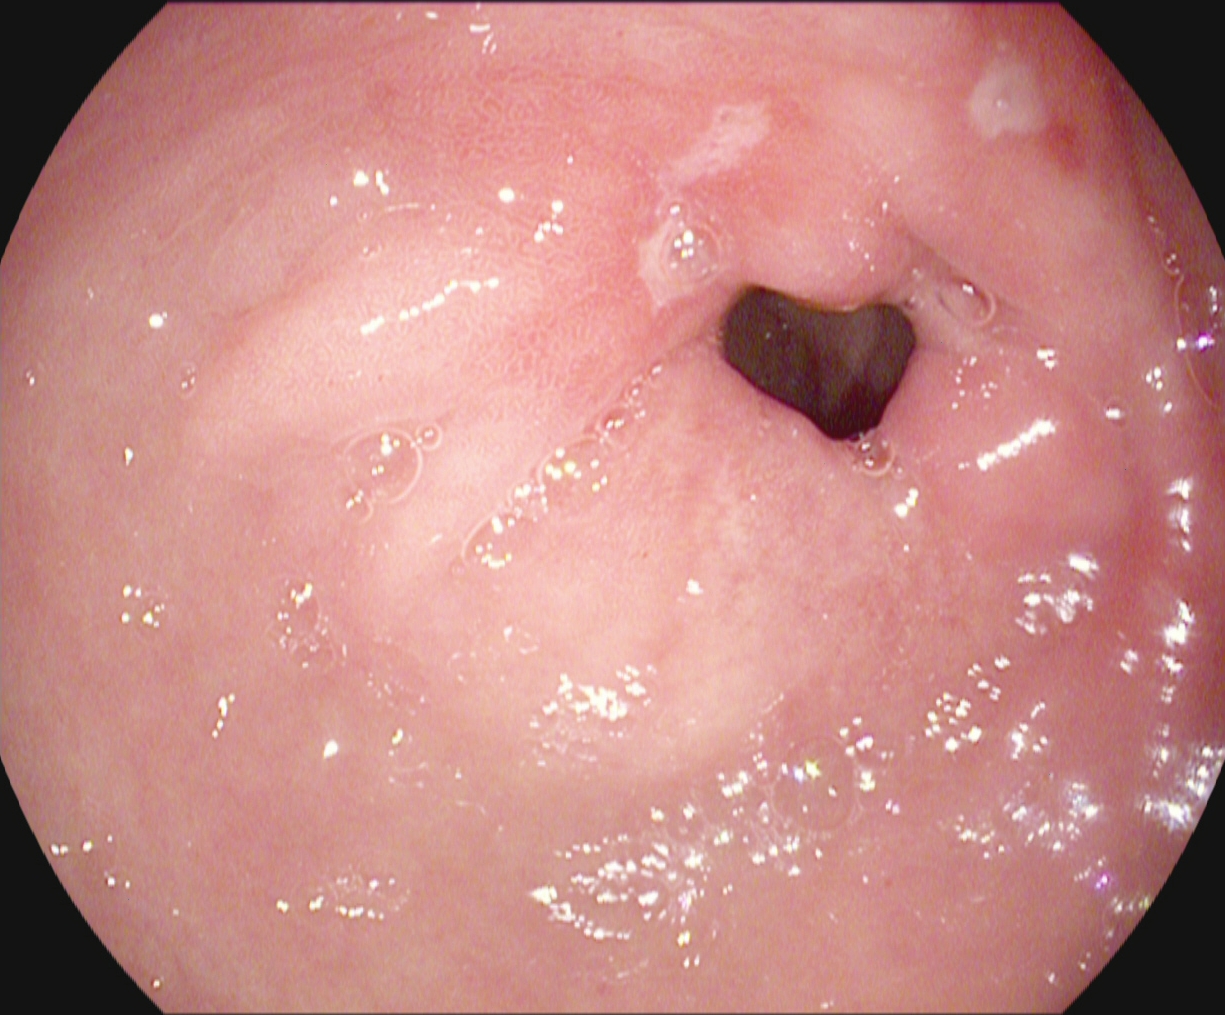Upper-GI endoscopy — pylorus.